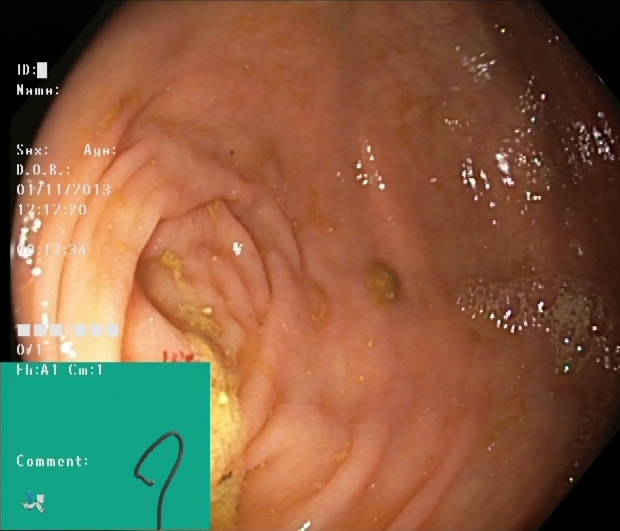This endoscopy frame shows cecum.